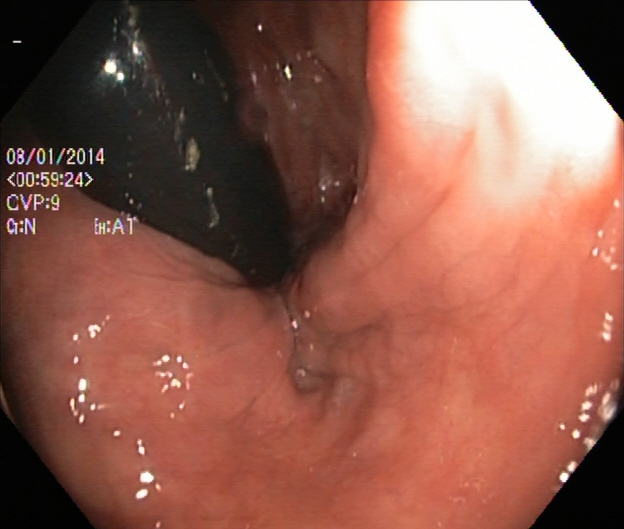This endoscopy frame of the lower GI tract shows rectum in retroflexion.